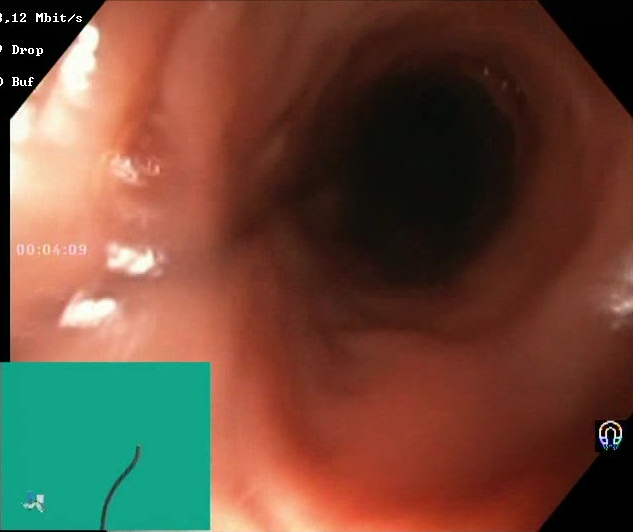Boston Bowel Preparation Scale score 2–3 (adequate preparation).